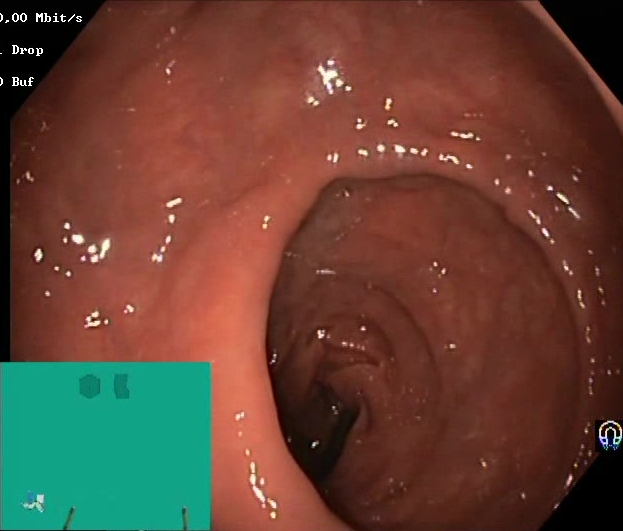Boston Bowel Preparation Scale score 2–3 (adequate preparation).